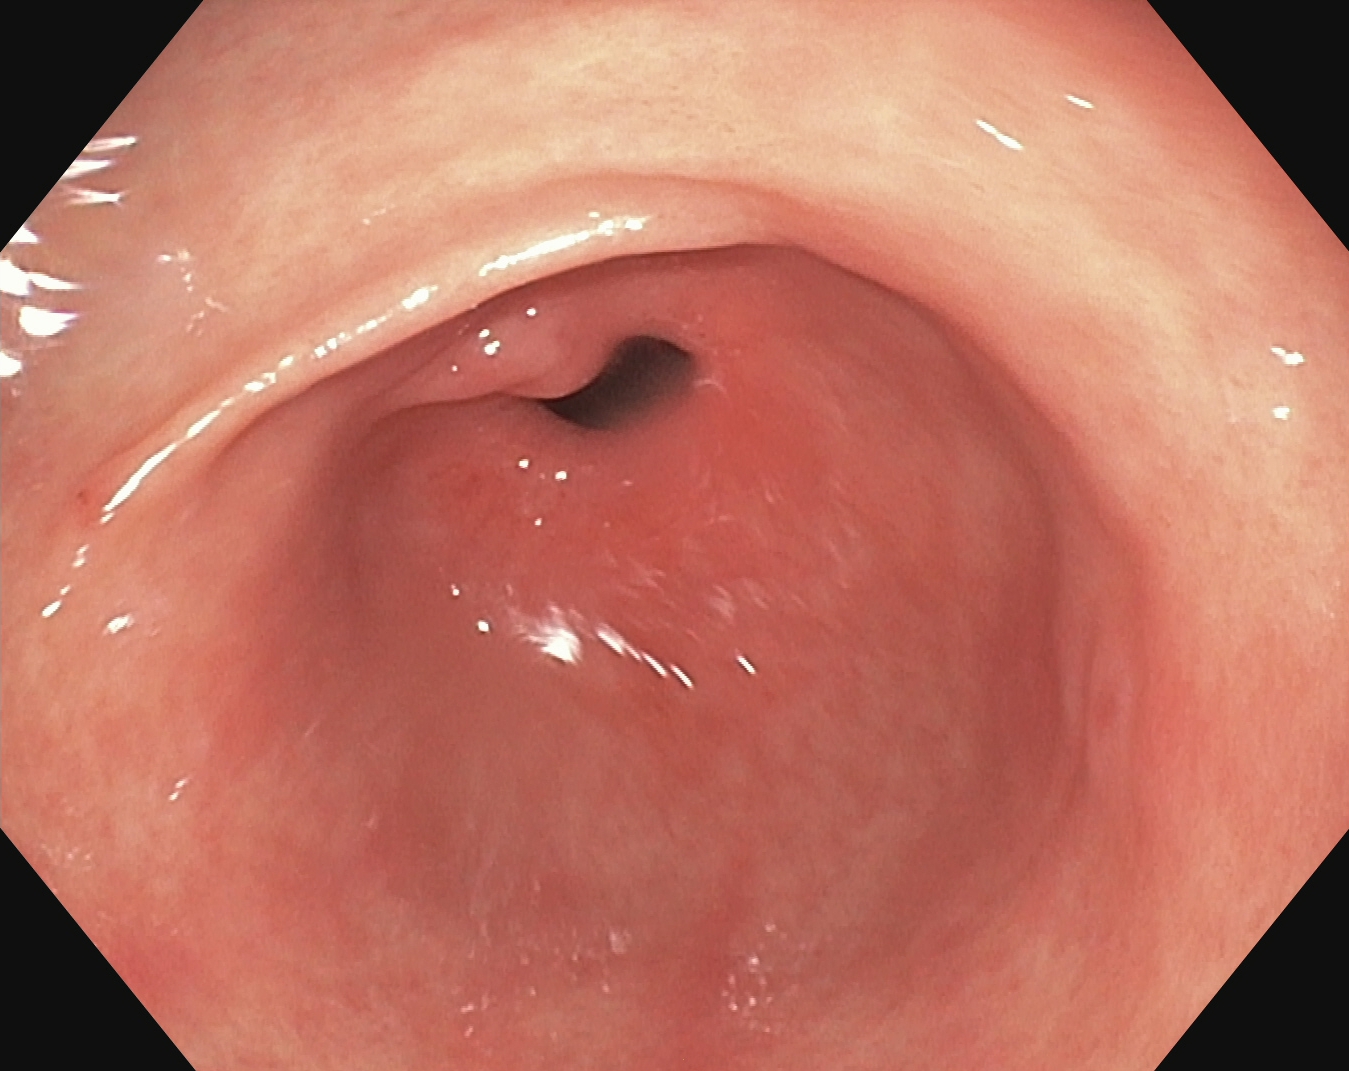PROCEDURE: Gastroscopy.
CATEGORY: Anatomical landmark.
FINDINGS: Pylorus.